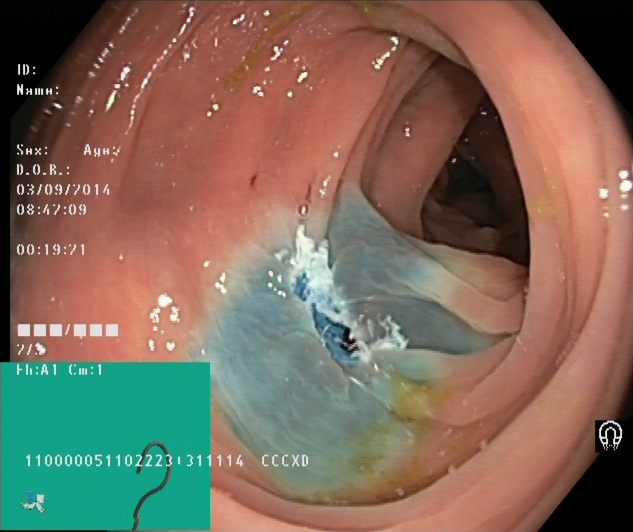Colonoscopy — dyed resection margins (post-polypectomy).